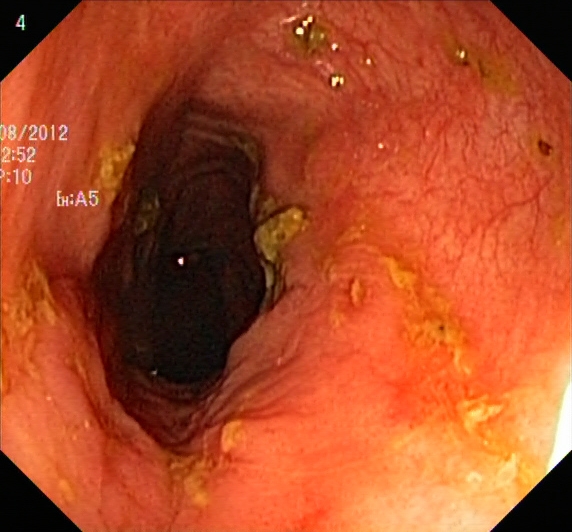Gastrointestinal endoscopy image showing ulcerative colitis, Mayo endoscopic subscore 0–1.